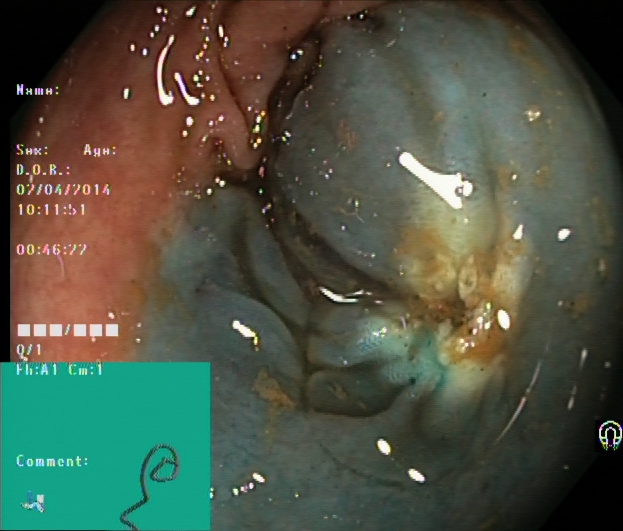{"modality": "lower gastrointestinal endoscopy", "tract": "lower GI tract", "category": "therapeutic intervention", "finding": "dyed resection margins (post-polypectomy)"}